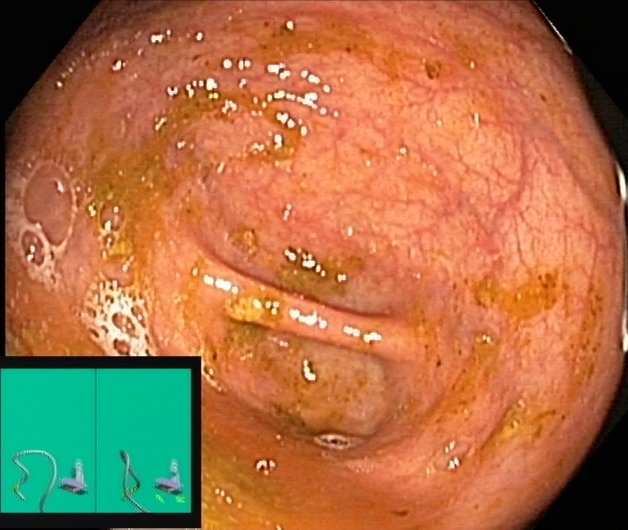{"modality": "colonoscopy", "finding": "cecum"}